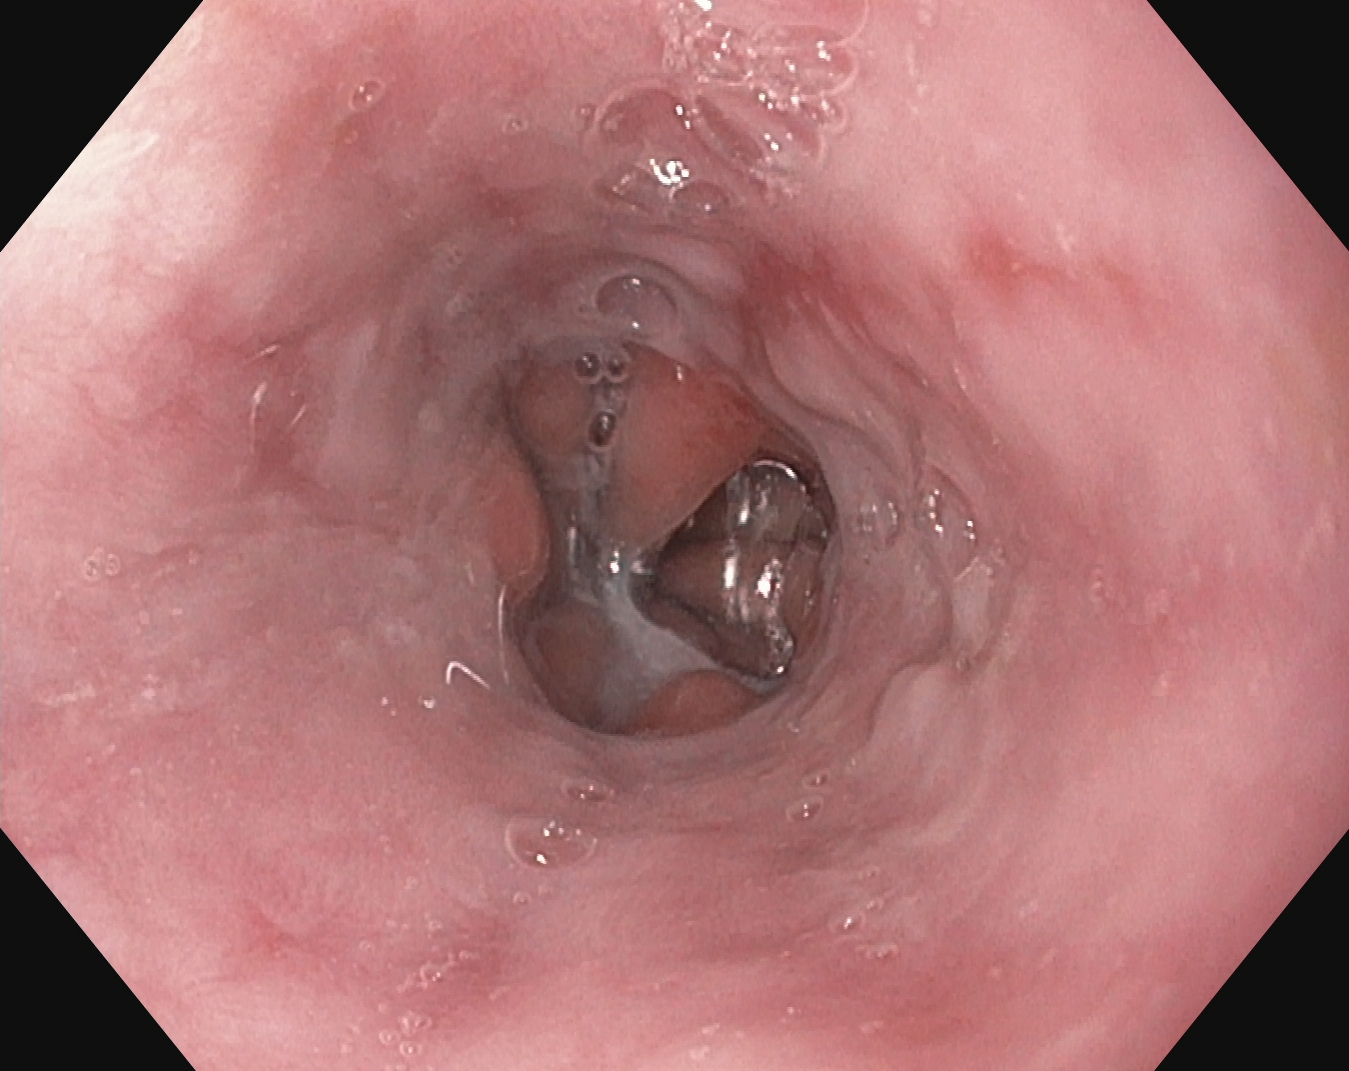PROCEDURE: Gastroscopy.
CATEGORY: Pathological finding.
FINDINGS: Reflux esophagitis, Los Angeles grade B–D.